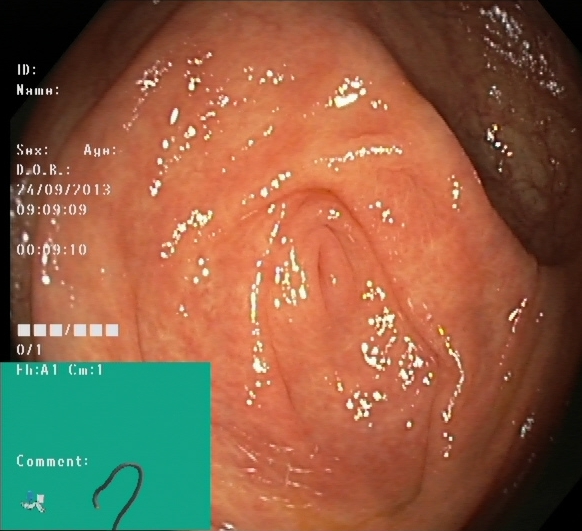modality: lower-GI endoscopy
finding: cecum